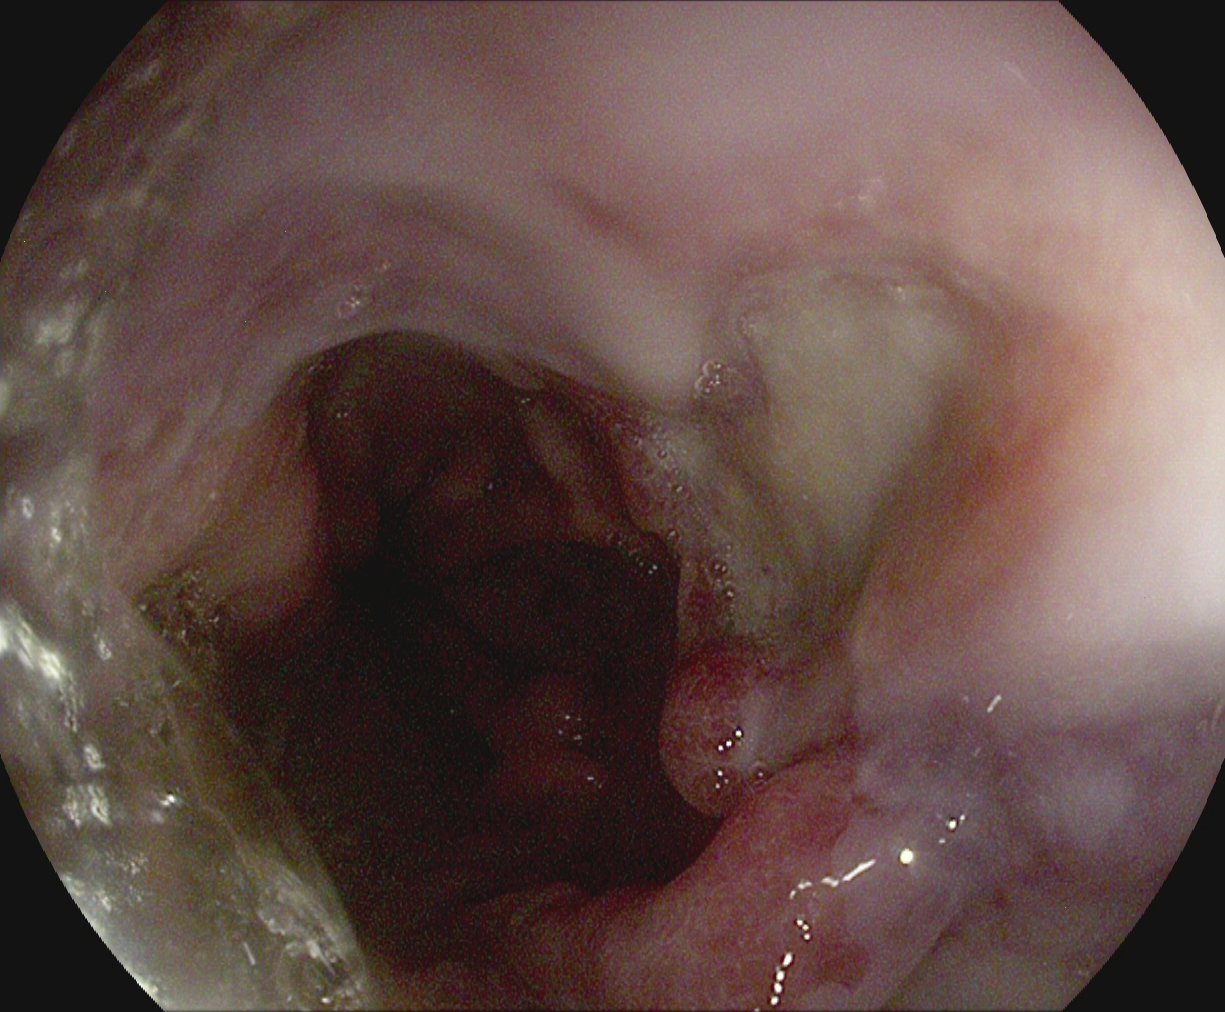{"modality": "upper-GI endoscopy", "tract": "upper GI tract", "category": "pathological finding", "finding": "reflux esophagitis, LA grade B\u2013D"}